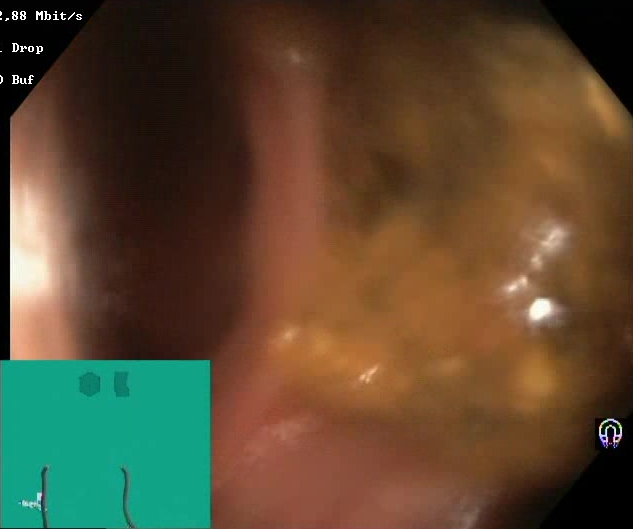Gastrointestinal endoscopy image of the lower GI tract showing Boston Bowel Preparation Scale score 0–1 (inadequate preparation).